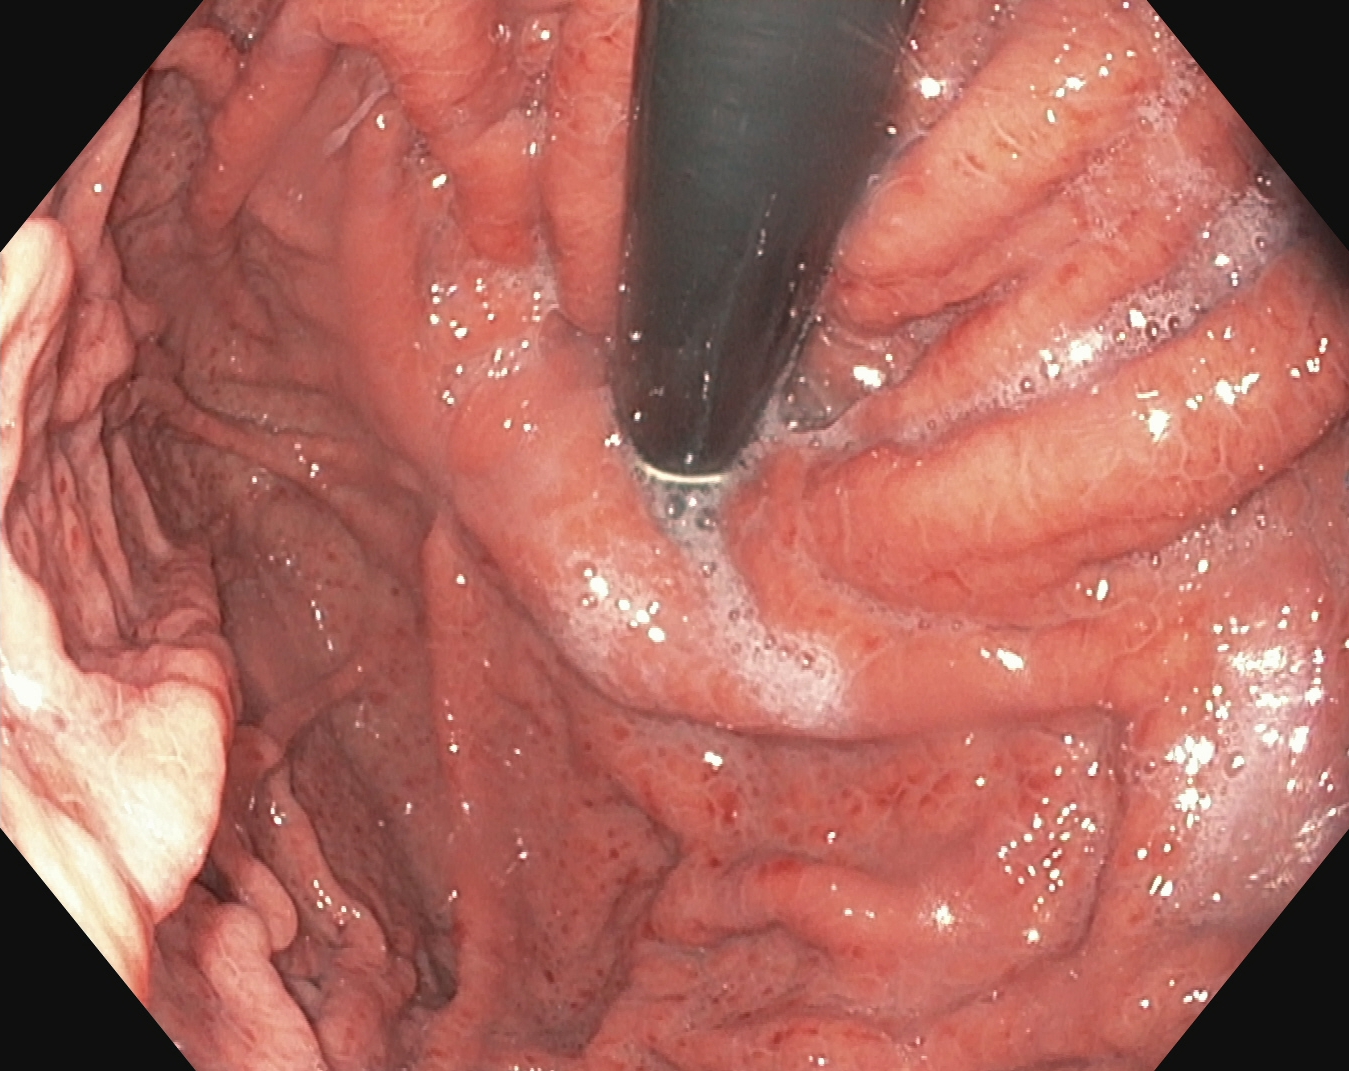Esophagogastroduodenoscopy. Finding: stomach in retroflexion.